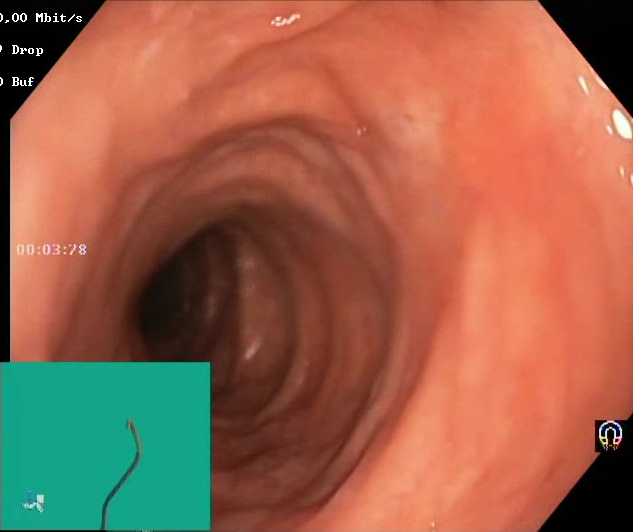Boston Bowel Preparation Scale score 2–3 (adequate preparation).